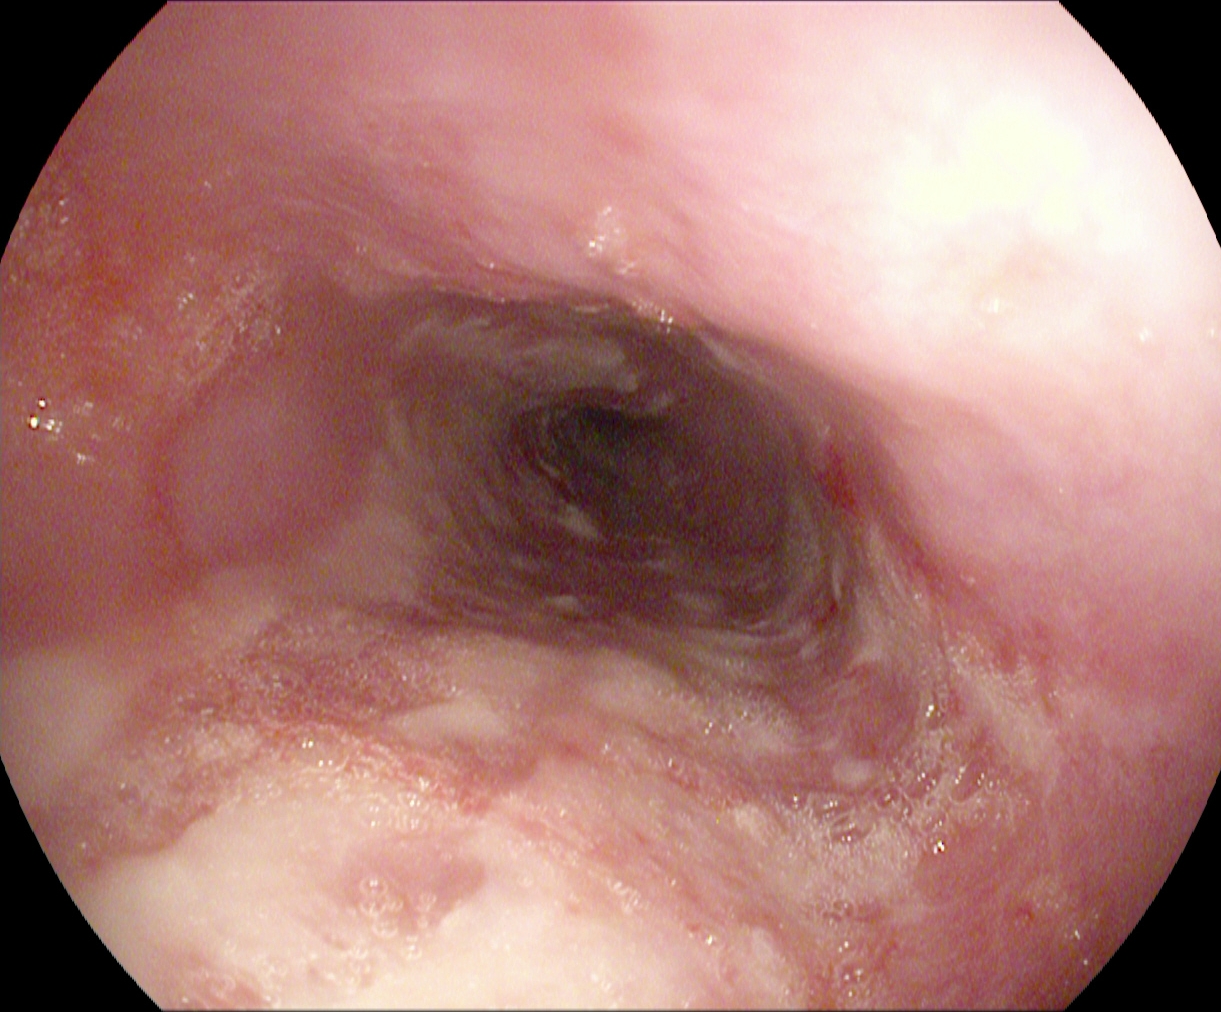modality: gastroscopy | category: pathological finding | finding: reflux esophagitis, LA grade B–D